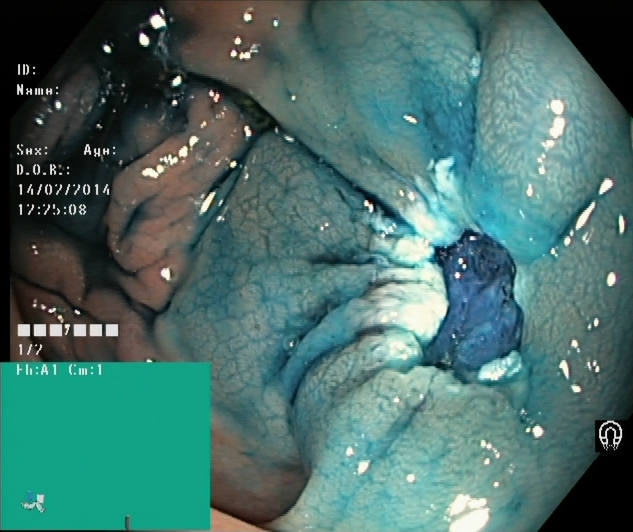{"modality": "lower-GI endoscopy", "finding": "dyed resection margins (post-polypectomy)"}